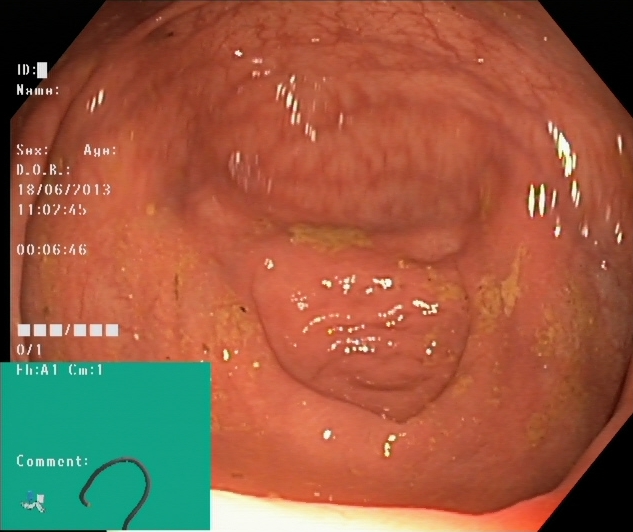This endoscopic image of the lower GI tract shows cecum.